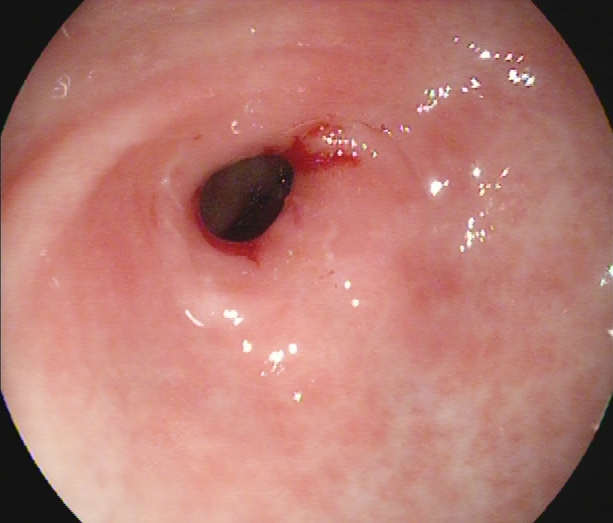EGD. Finding: pylorus.